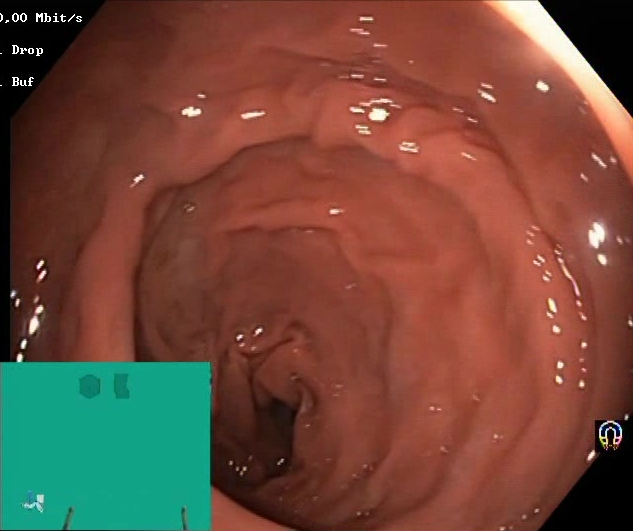Boston Bowel Preparation Scale score 2–3 (adequate preparation).